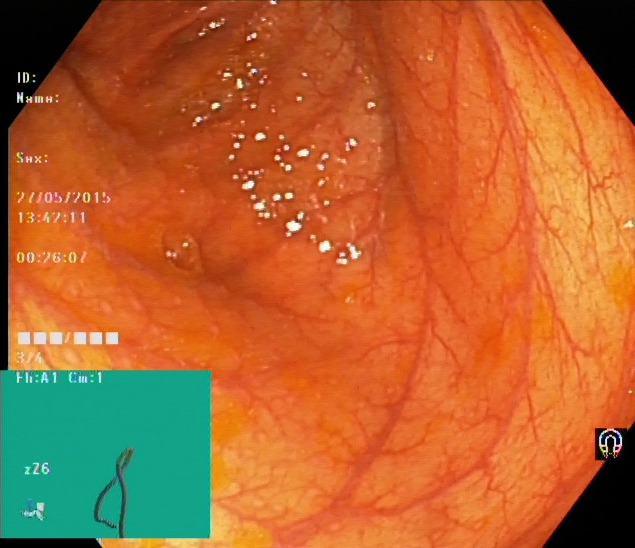Cecum.